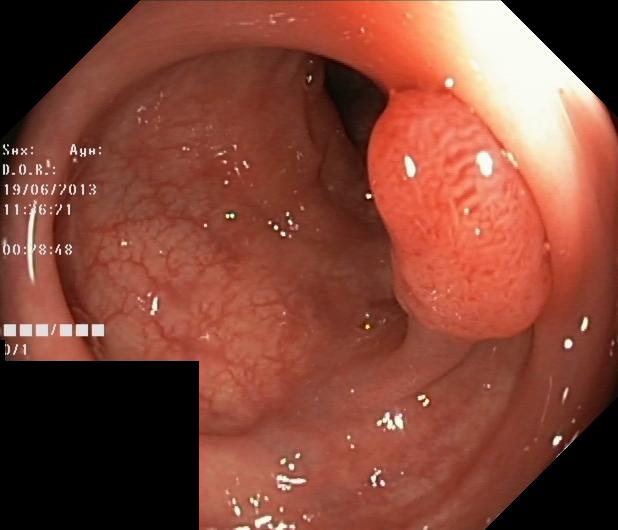modality: lower gastrointestinal endoscopy
category: pathological finding
finding: colorectal polyp(s)